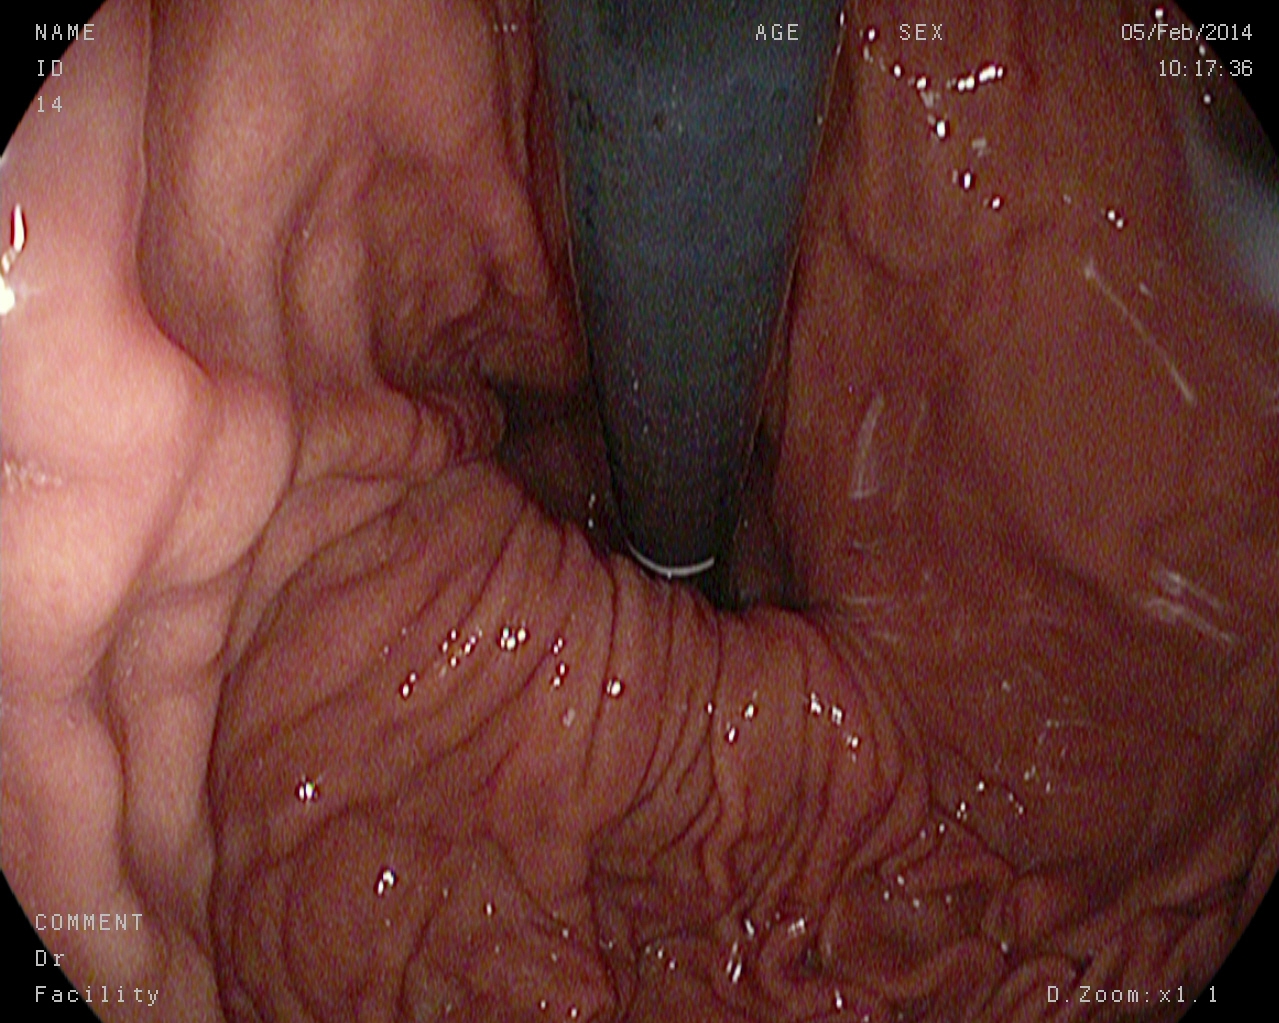Stomach in retroflexion.